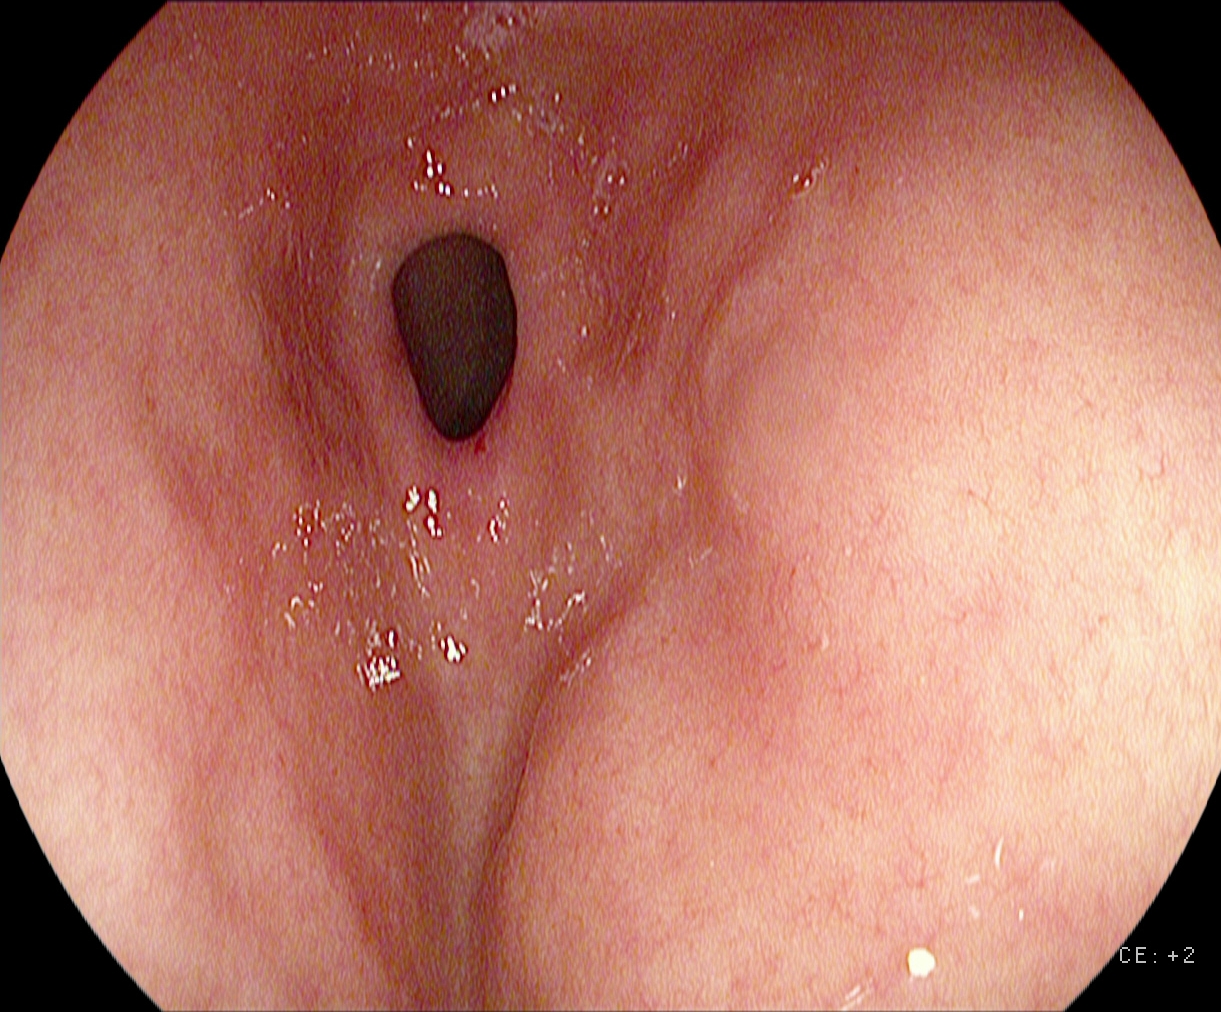This endoscopy frame shows pylorus.